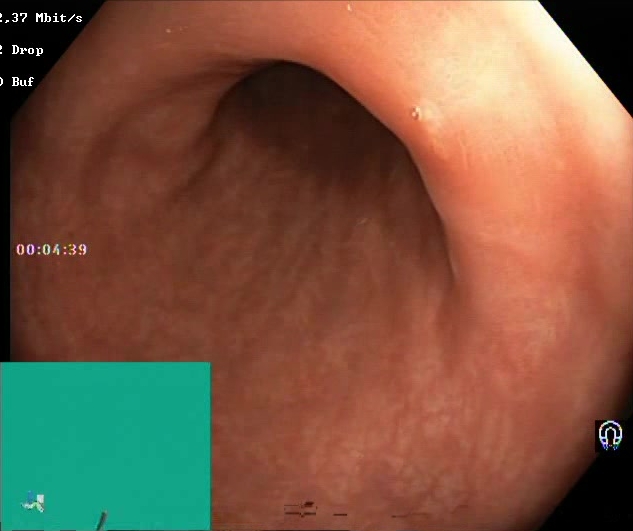{"modality": "colonoscopy", "finding": "Boston Bowel Preparation Scale score 2\u20133 (adequate preparation)"}